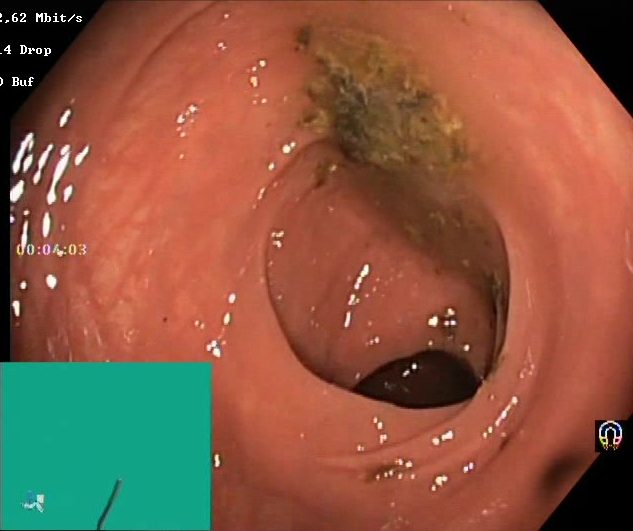PROCEDURE: Lower-GI endoscopy.
FINDINGS: BBPS score 0–1 (inadequate preparation).